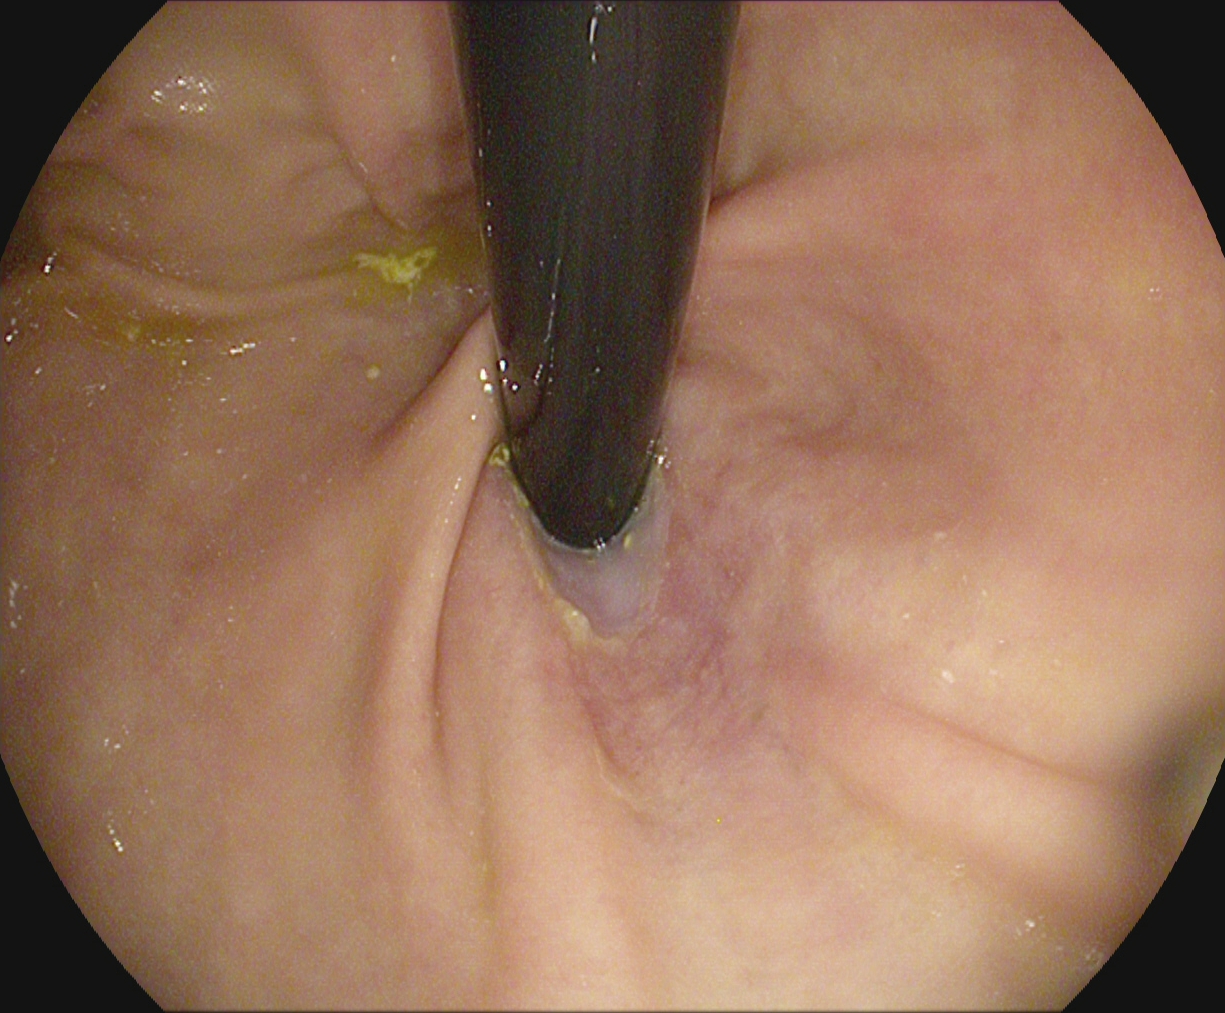Endoscopic frame of the upper GI tract showing stomach in retroflexion.